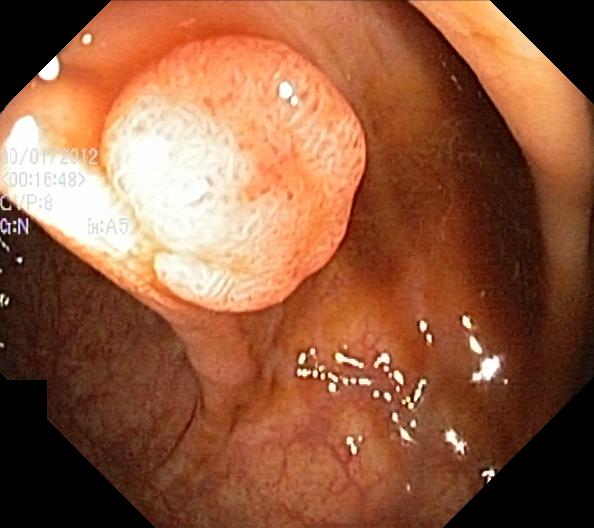Colonoscopy. Finding: colorectal polyp(s).